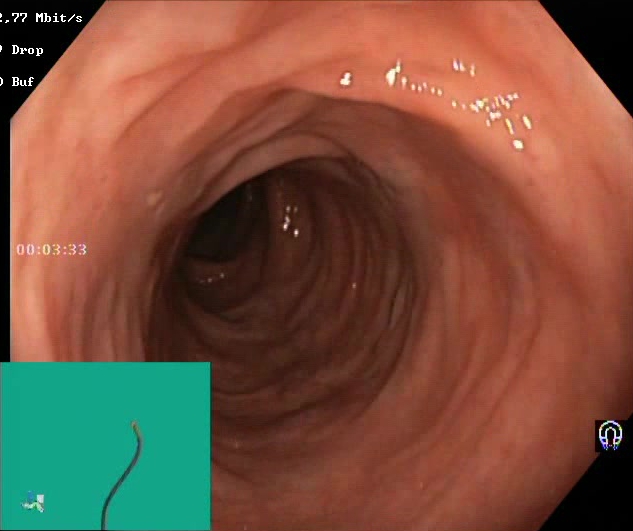This endoscopy frame of the lower GI tract shows BBPS score 2–3 (adequate preparation).